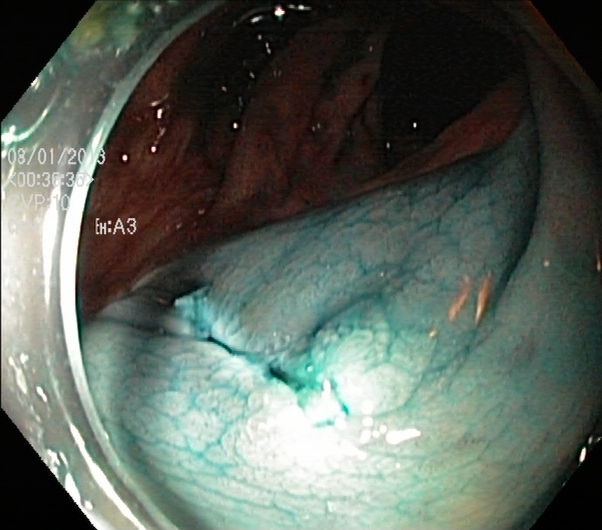Colonoscopy image showing dyed resection margins (post-polypectomy).